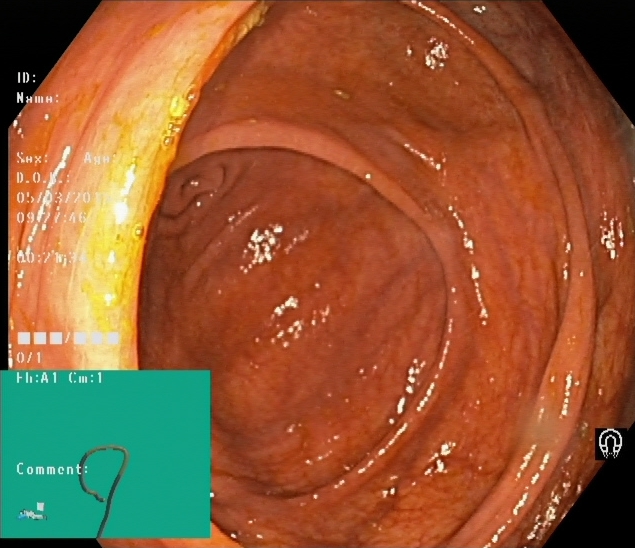modality: lower gastrointestinal endoscopy; category: anatomical landmark; finding: cecum